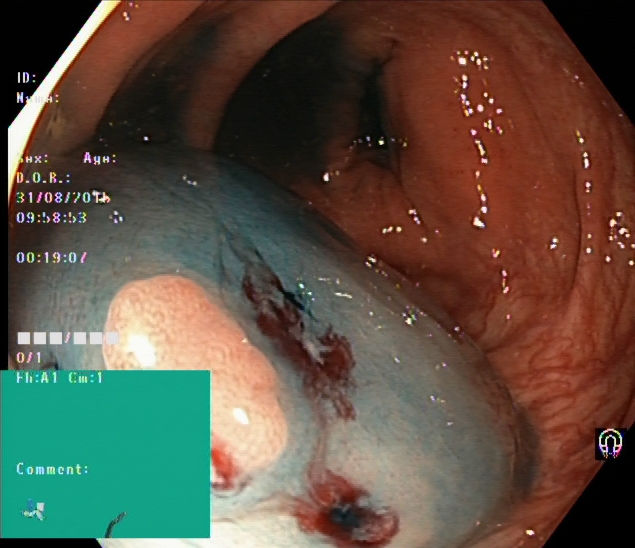modality: lower gastrointestinal endoscopy; tract: lower GI tract; finding: dyed and lifted polyp (pre-resection)